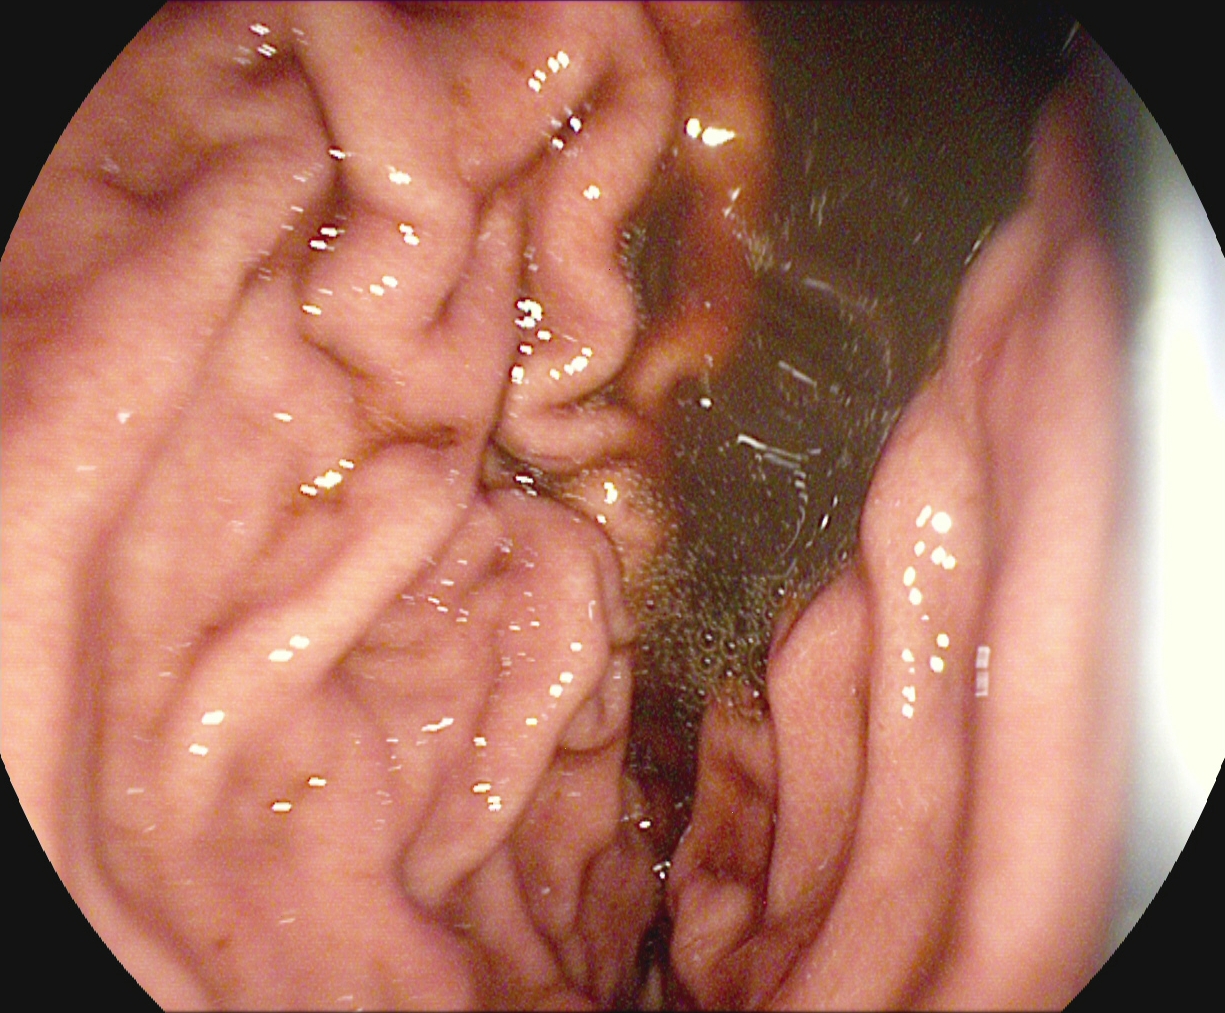{"modality": "gastroscopy", "category": "anatomical landmark", "finding": "stomach in retroflexion"}